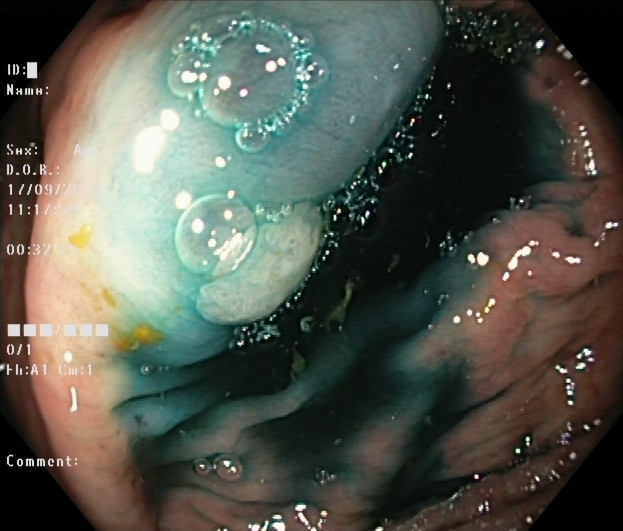This endoscopy frame of the lower GI tract shows dyed and lifted polyp (pre-resection).